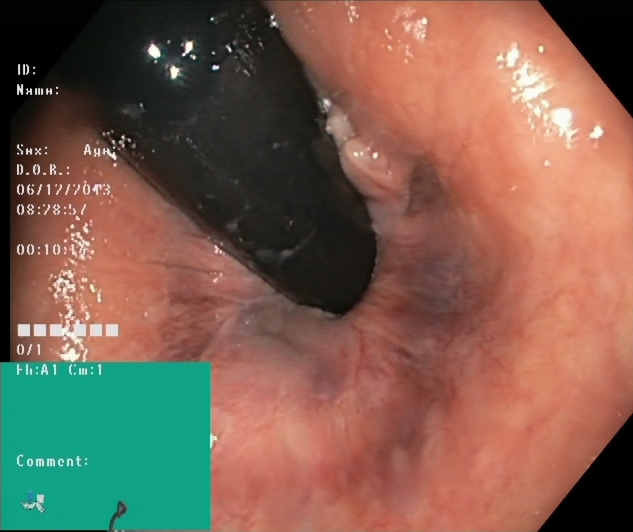Rectum in retroflexion.